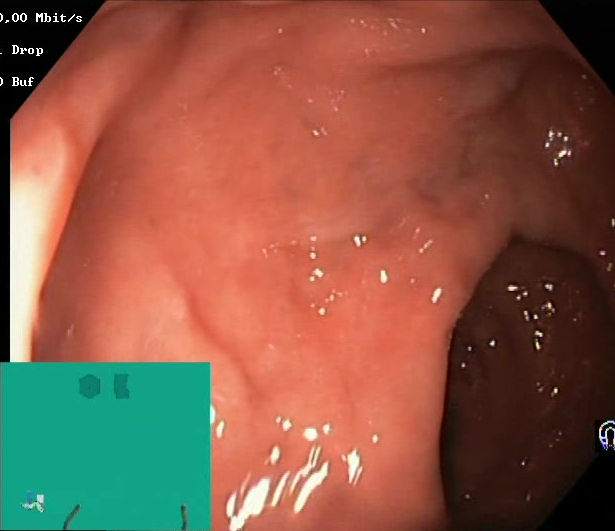Lower gastrointestinal endoscopy — Boston Bowel Preparation Scale score 2–3 (adequate preparation).